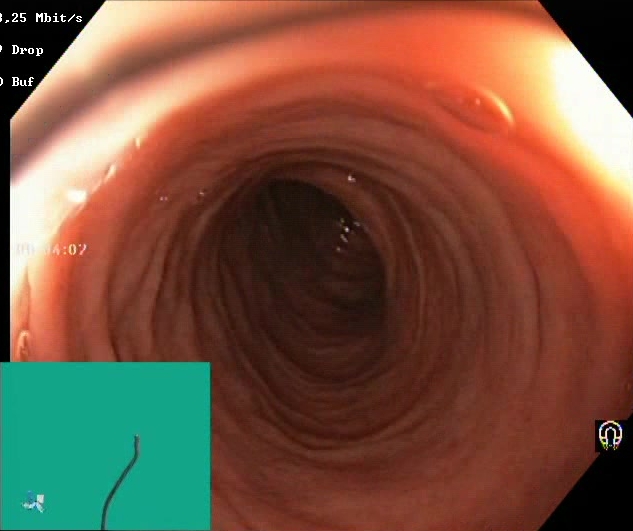PROCEDURE: Lower-GI endoscopy.
CATEGORY: Mucosal-view quality.
FINDINGS: Boston Bowel Preparation Scale score 2–3 (adequate preparation).